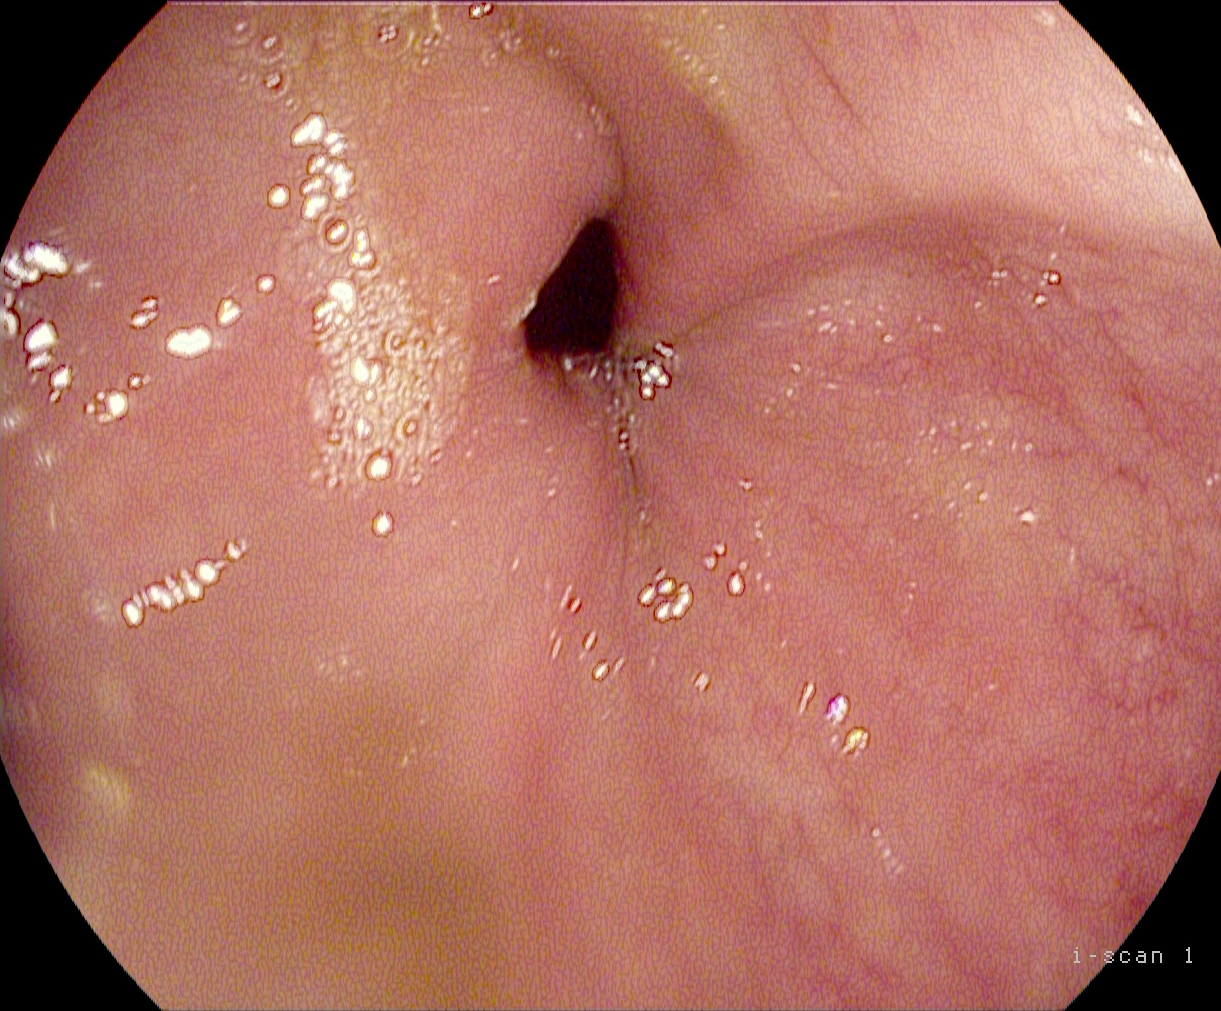pylorus.